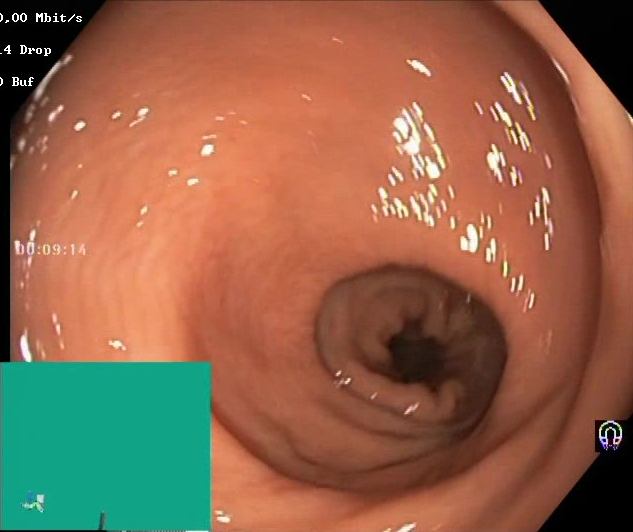{"modality": "lower gastrointestinal endoscopy", "tract": "lower GI tract", "category": "mucosal-view quality", "finding": "Boston Bowel Preparation Scale score 2\u20133 (adequate preparation)"}